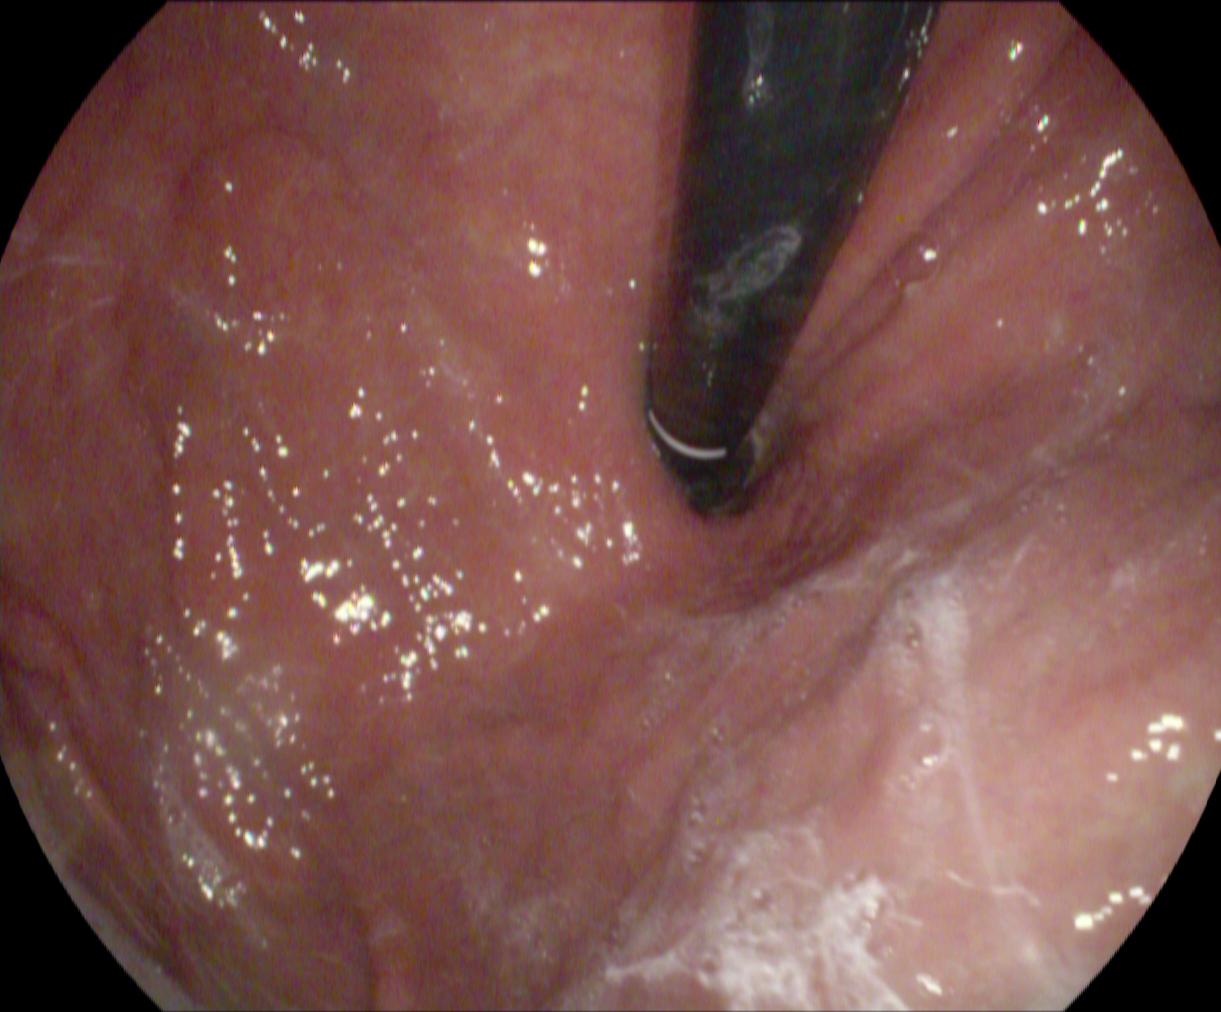{"modality": "upper-GI endoscopy", "tract": "upper GI tract", "finding": "stomach in retroflexion"}